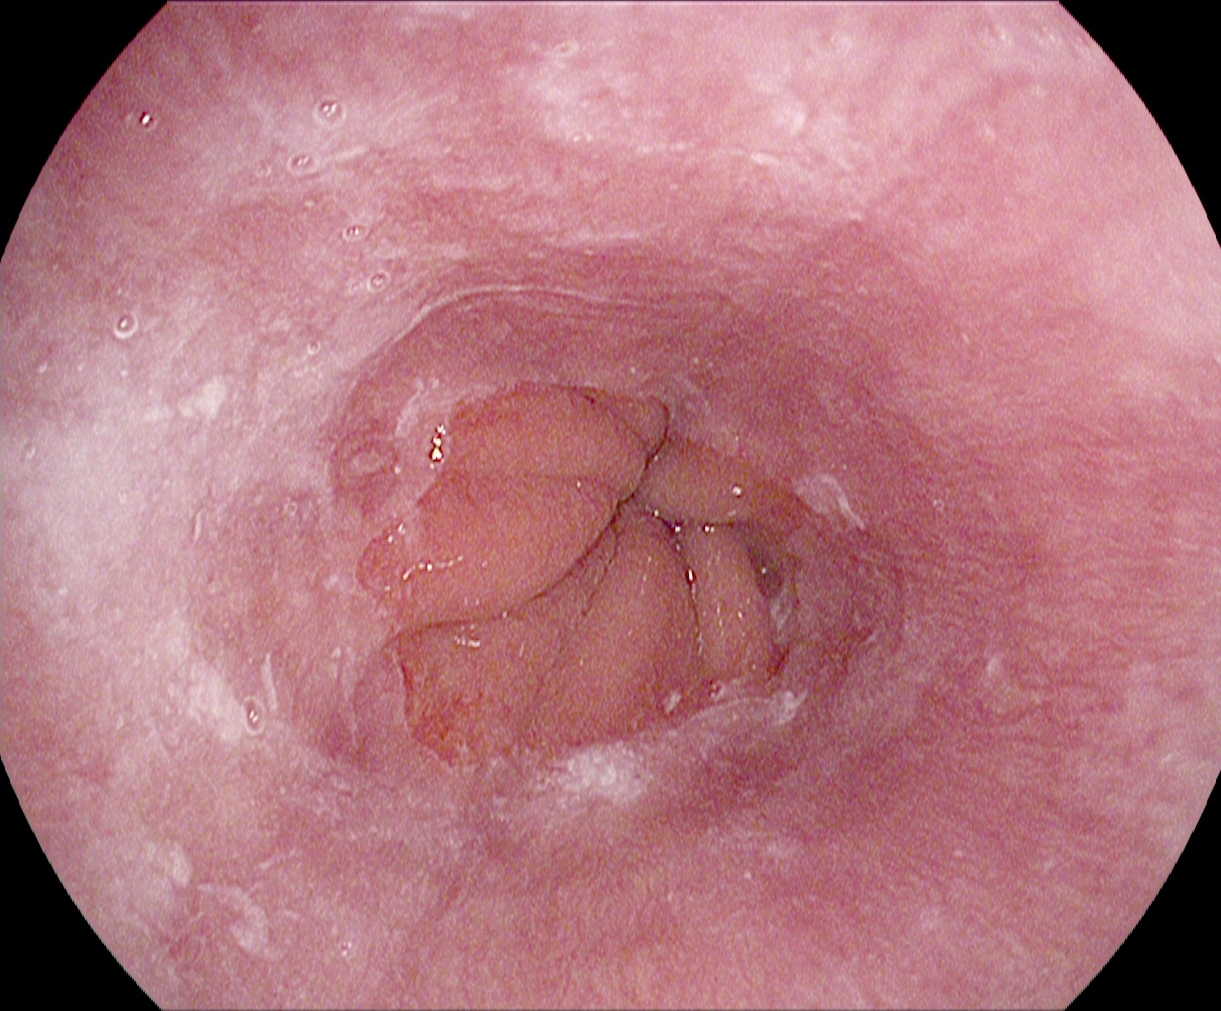PROCEDURE: EGD.
CATEGORY: Anatomical landmark.
FINDINGS: Z-line (gastroesophageal junction).